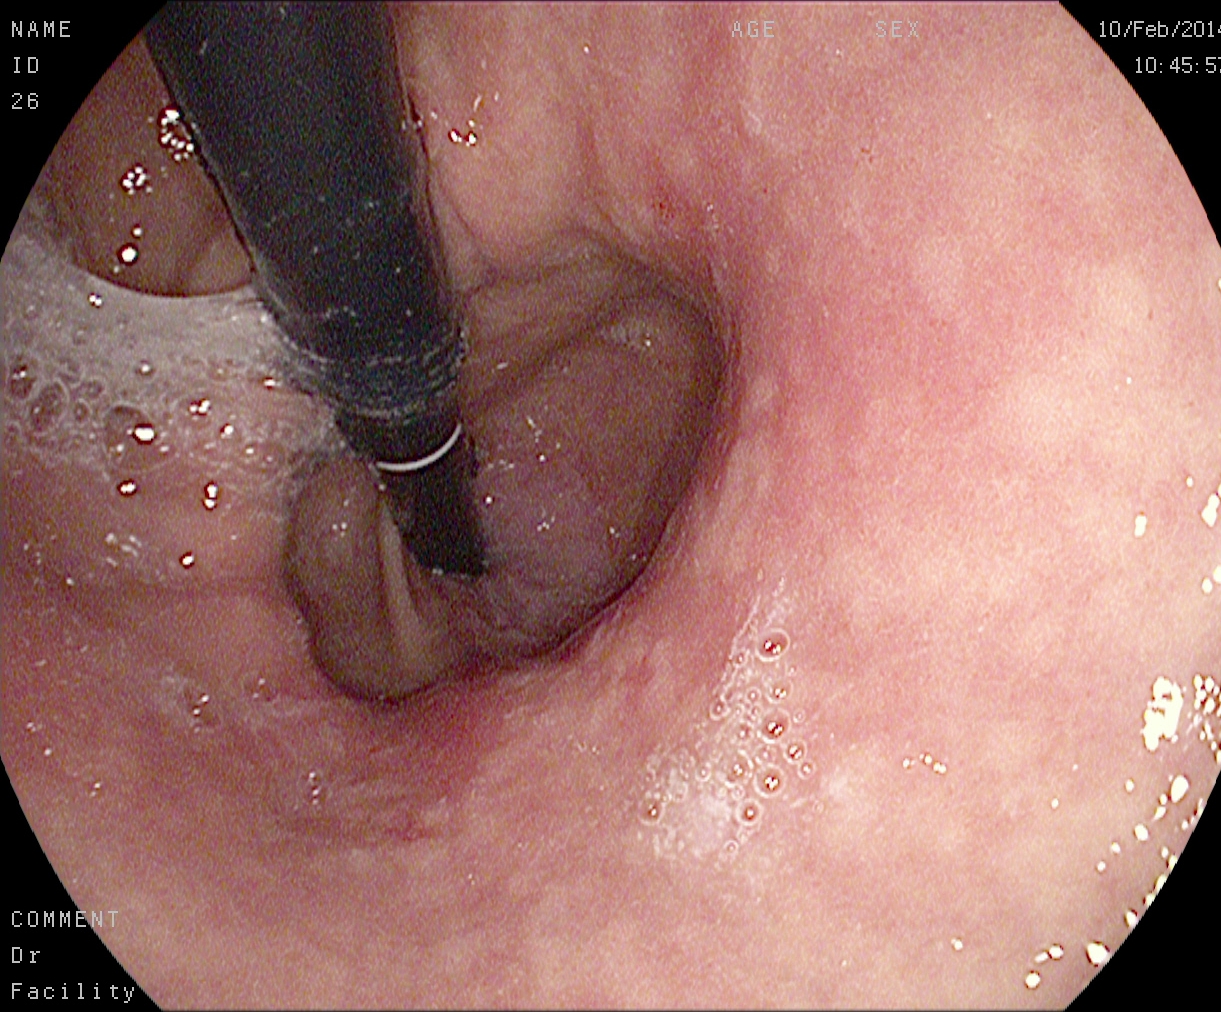This endoscopy frame shows stomach in retroflexion.